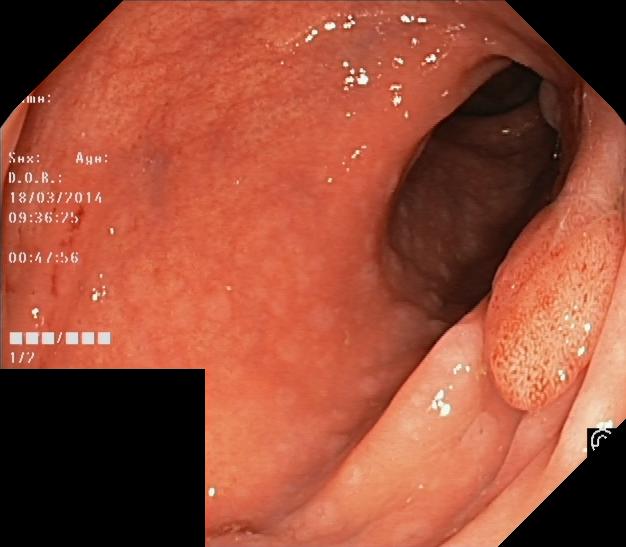This endoscopic image shows colorectal polyp(s).